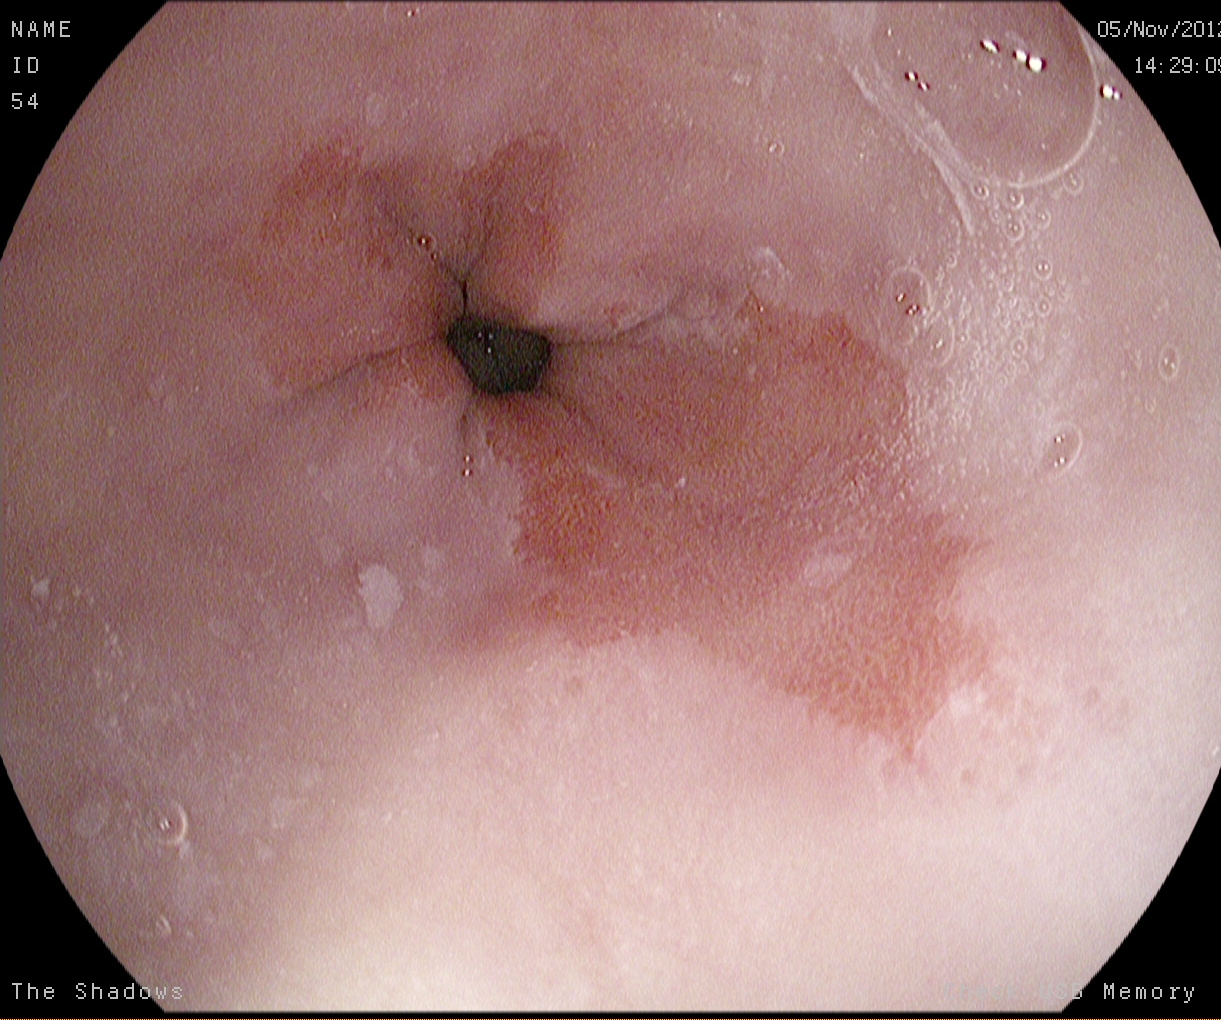PROCEDURE: EGD.
FINDINGS: Barrett's esophagus.